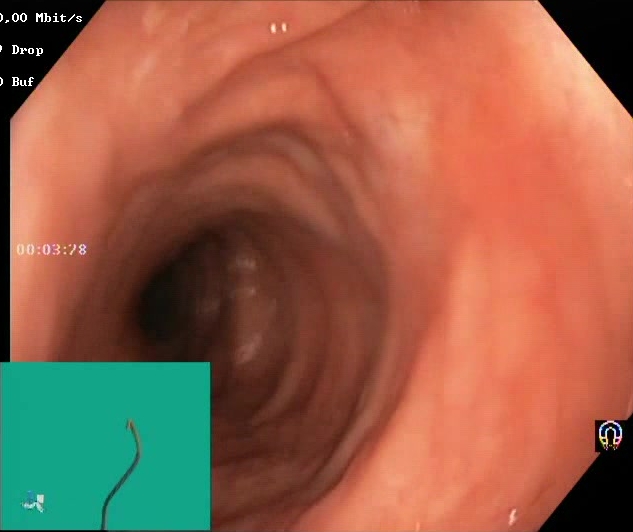Colonoscopy. Mucosal-view quality. Finding: Boston Bowel Preparation Scale score 2–3 (adequate preparation).